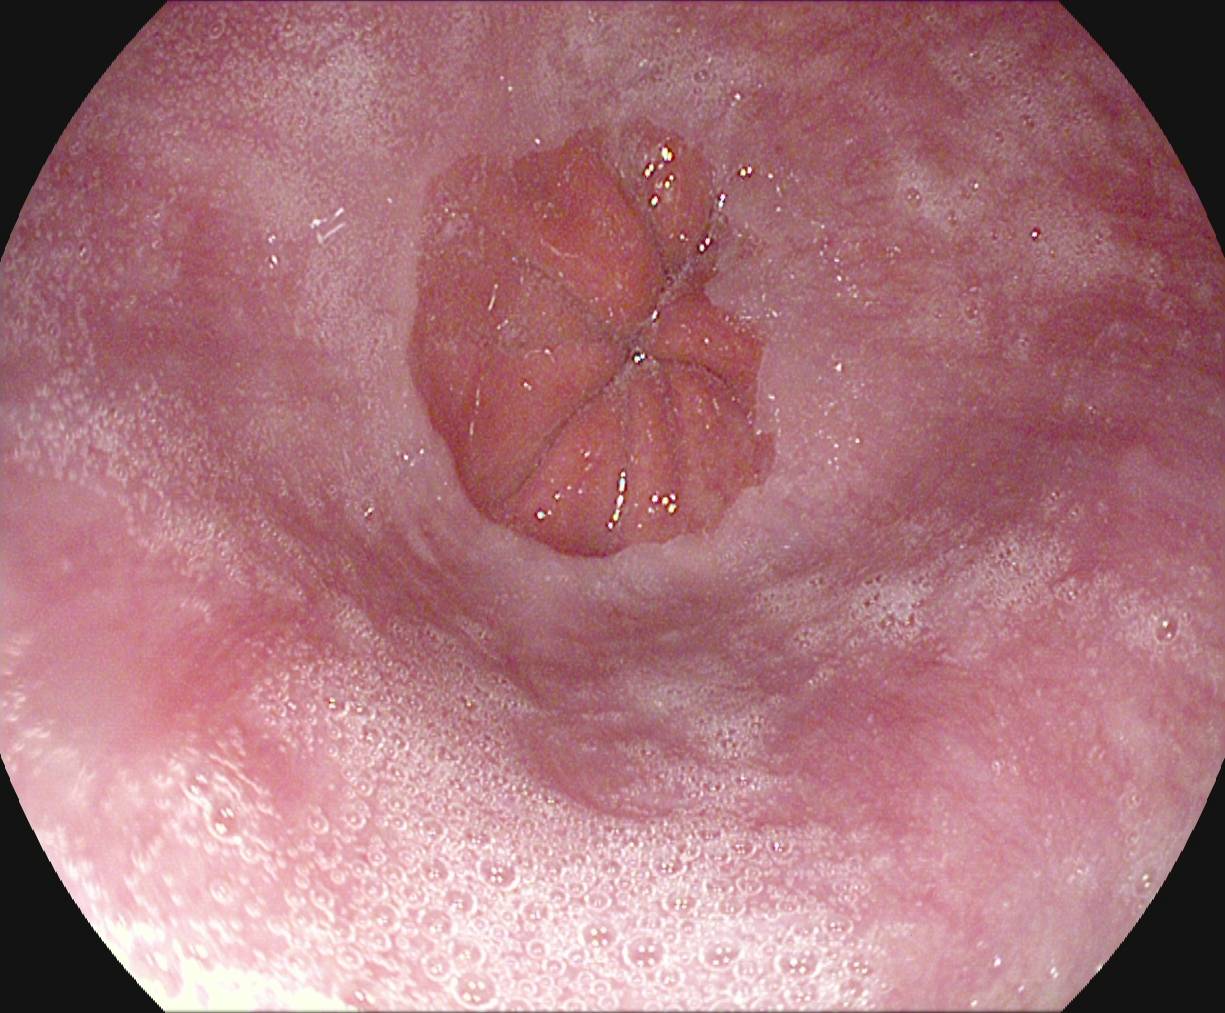Z-line (gastroesophageal junction).